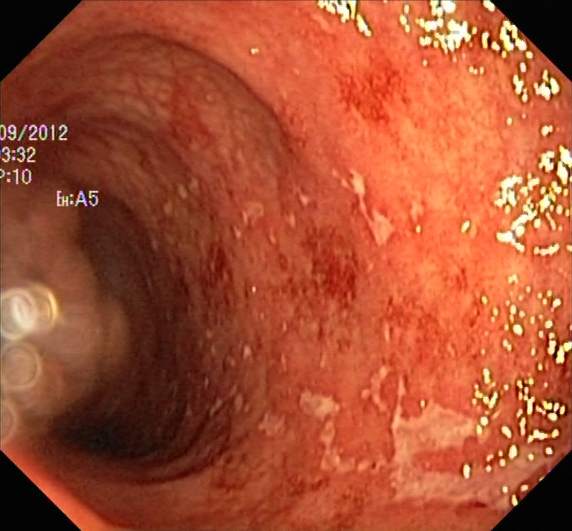modality: lower-GI endoscopy | tract: lower GI tract | category: pathological finding | finding: UC, Mayo endoscopic subscore 2